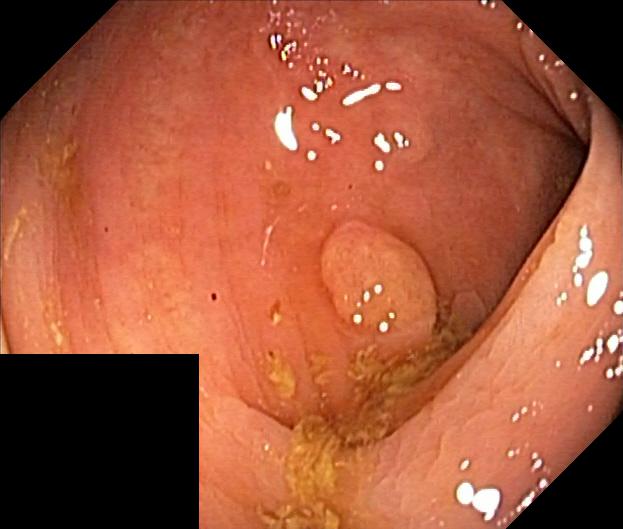modality: lower-GI endoscopy
tract: lower GI tract
category: pathological finding
finding: colorectal polyp(s)